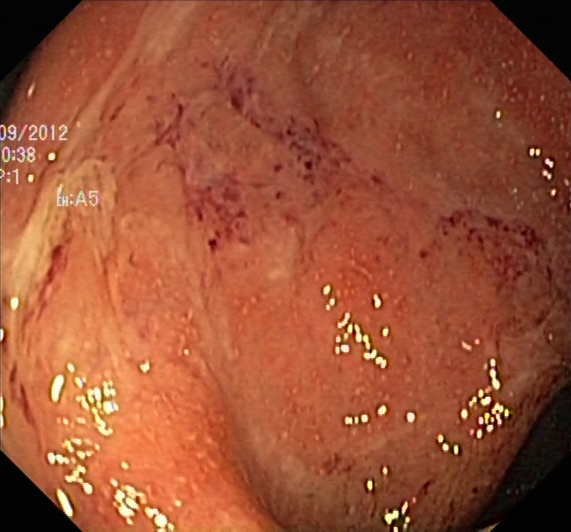This endoscopic image shows UC, Mayo endoscopic subscore 2.